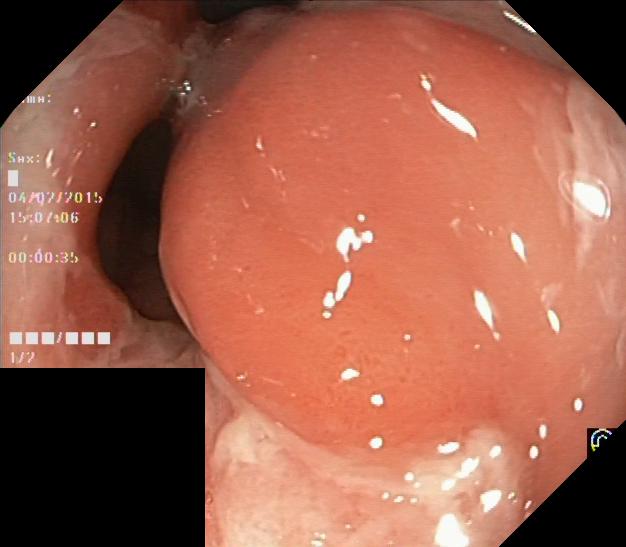{"modality": "lower-GI endoscopy", "tract": "lower GI tract", "category": "pathological finding", "finding": "colorectal polyp(s)"}